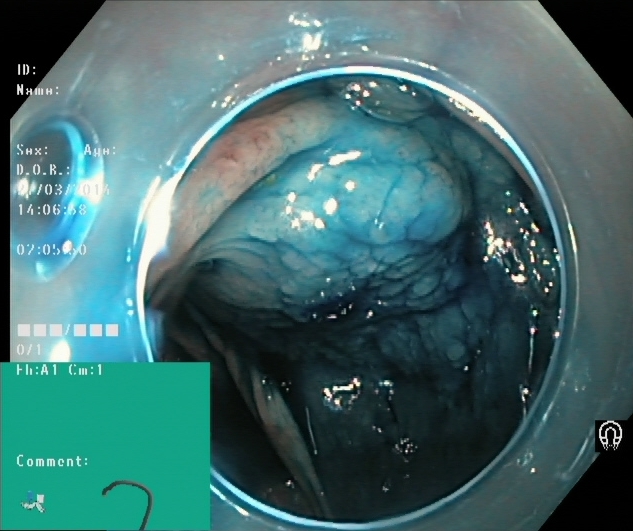Colonoscopy. Tract: lower GI tract. Finding: dyed and lifted polyp (pre-resection).